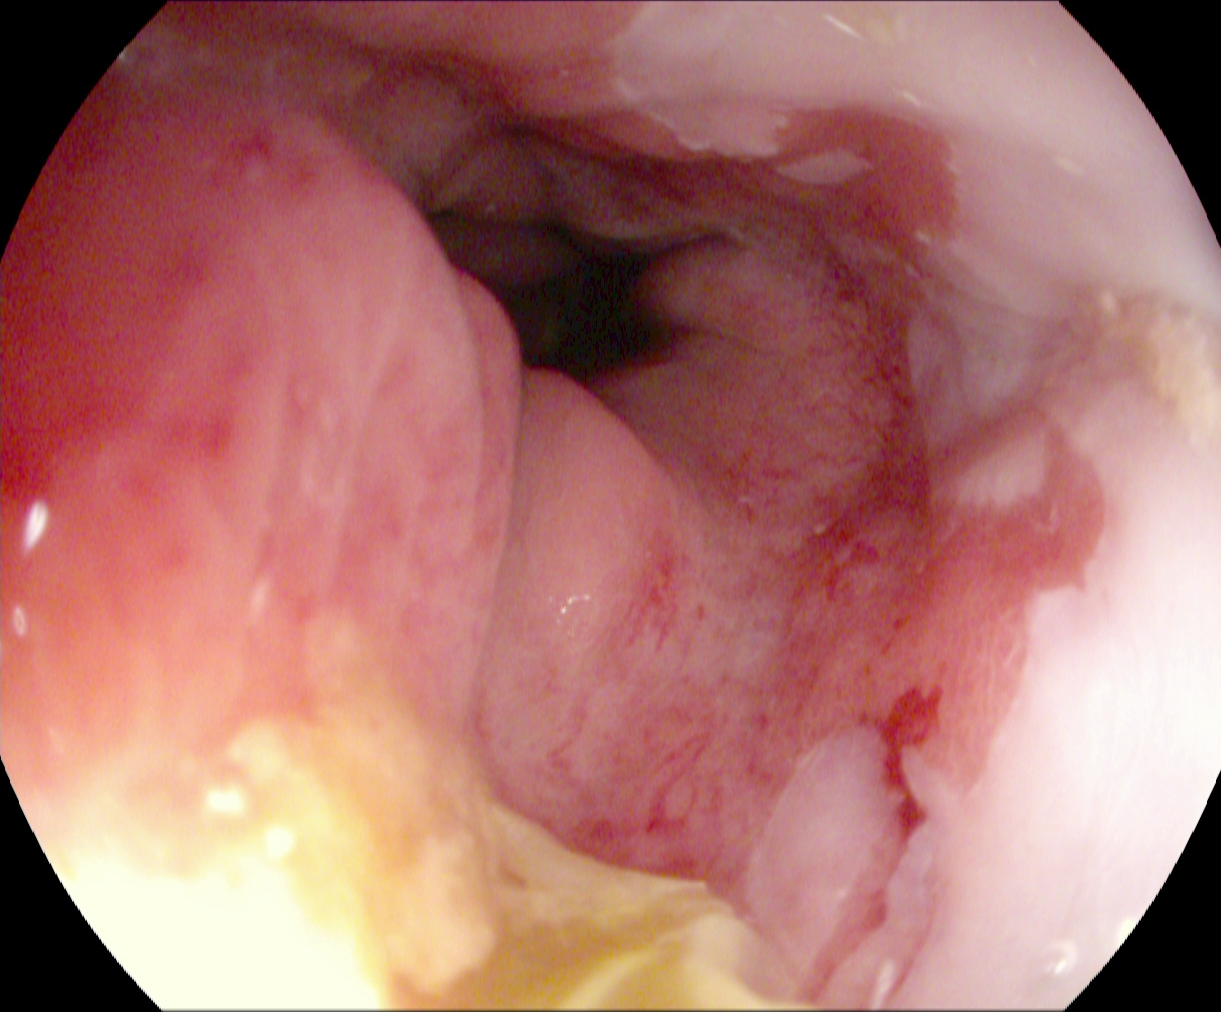{"modality": "esophagogastroduodenoscopy", "tract": "upper GI tract", "category": "pathological finding", "finding": "reflux esophagitis, Los Angeles grade B\u2013D"}